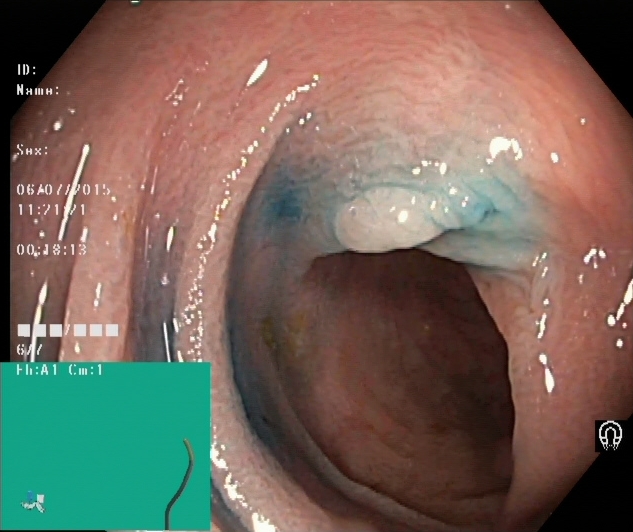Lower-GI endoscopy — dyed and lifted polyp (pre-resection).